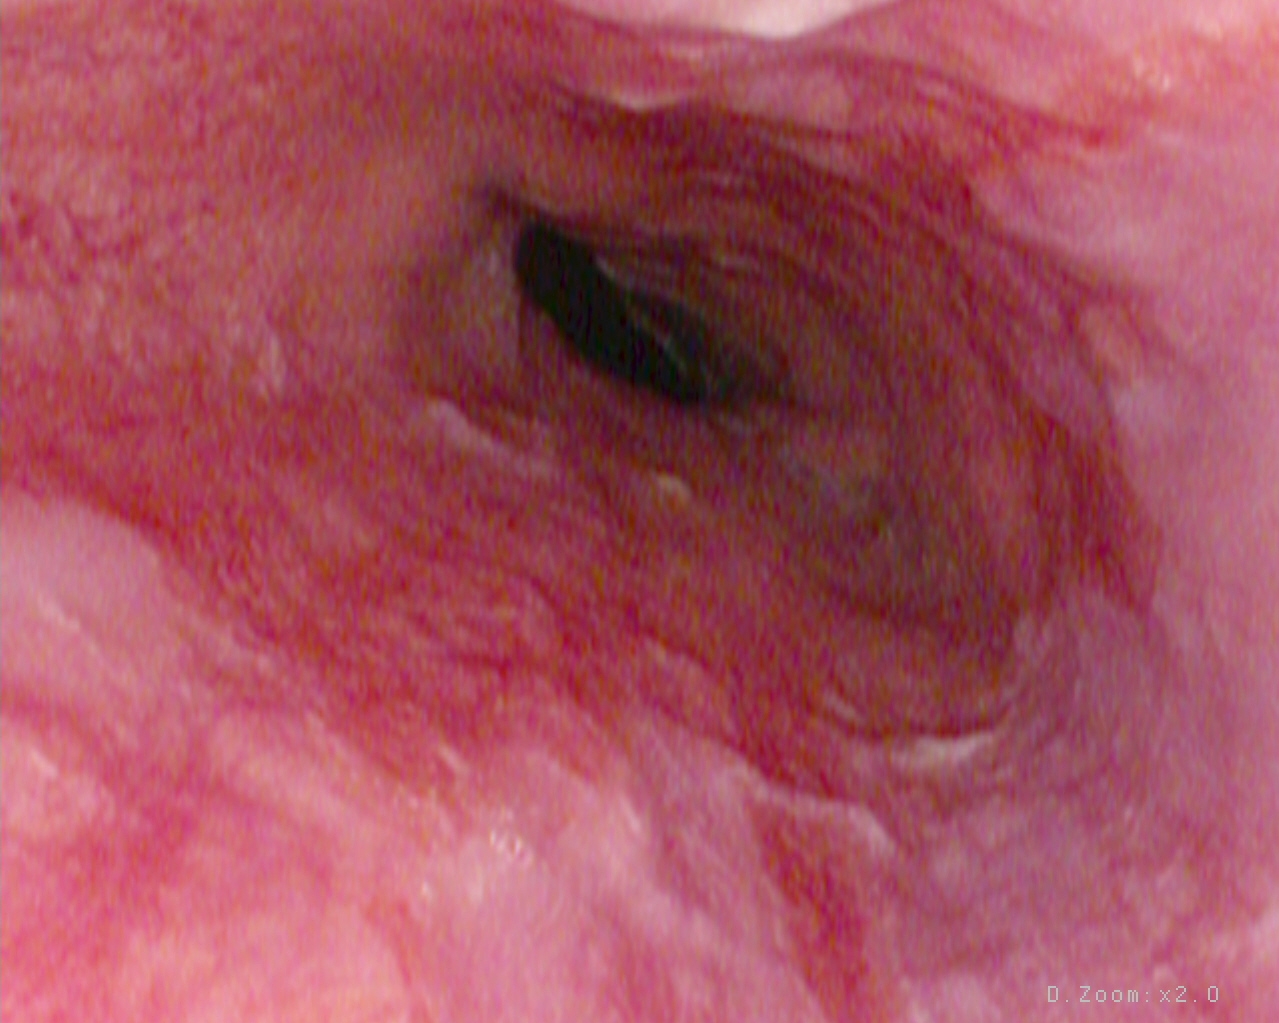Upper-GI endoscopy — Barrett's esophagus.